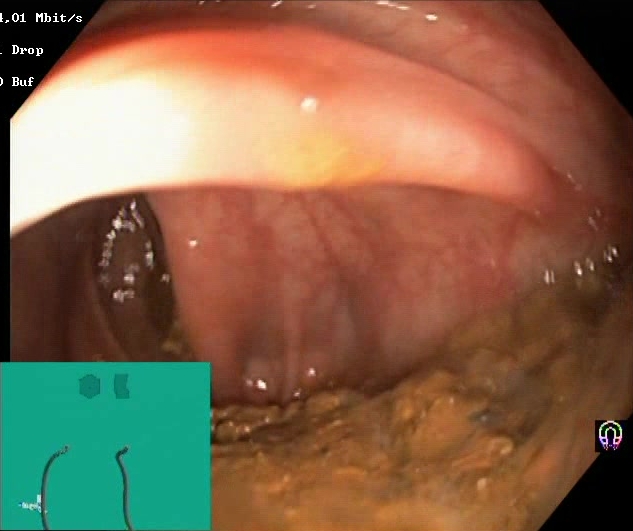PROCEDURE: Colonoscopy.
FINDINGS: Boston Bowel Preparation Scale score 0–1 (inadequate preparation).